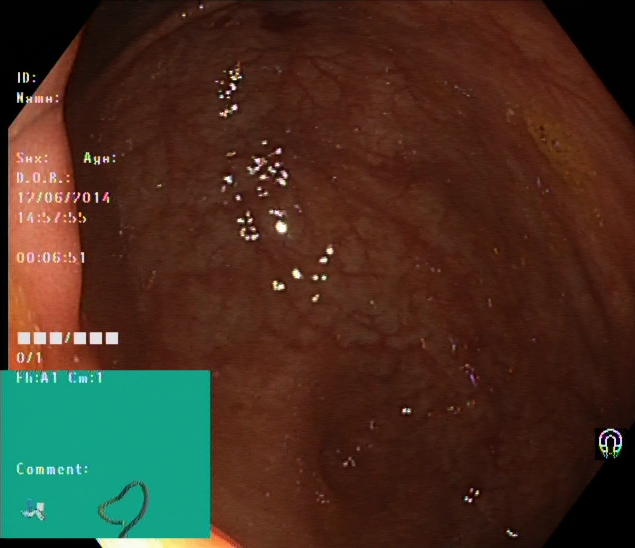This endoscopic image of the lower GI tract shows cecum.